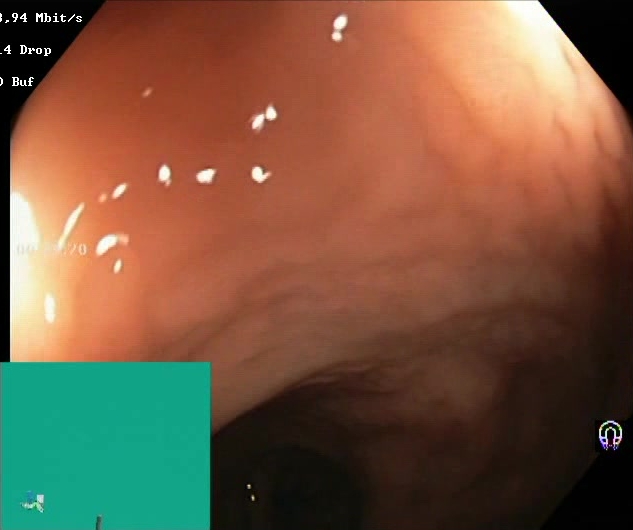Lower-GI endoscopy. Tract: lower GI tract. Finding: Boston Bowel Preparation Scale score 2–3 (adequate preparation).